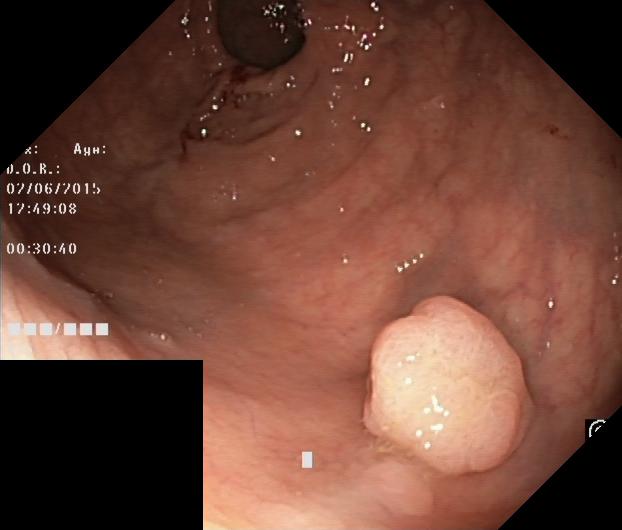This endoscopic image of the lower GI tract shows colorectal polyp(s).